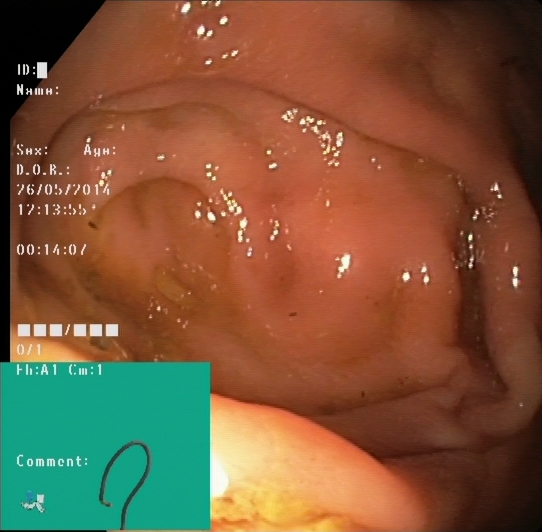modality: colonoscopy; tract: lower GI tract; finding: cecum